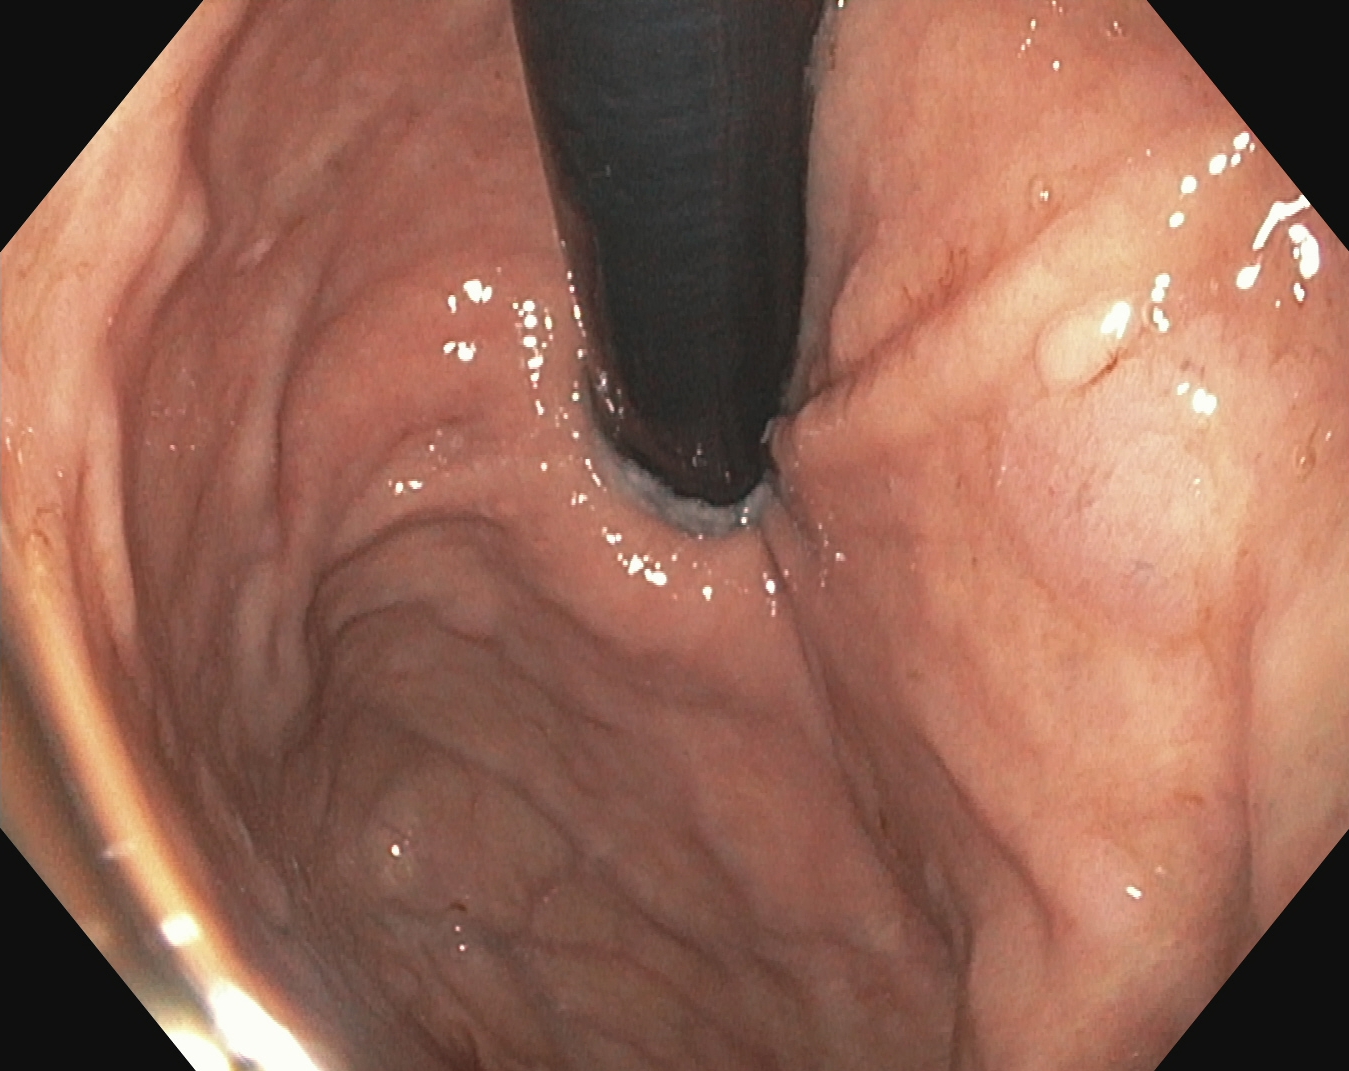This endoscopy frame of the upper GI tract shows stomach in retroflexion.